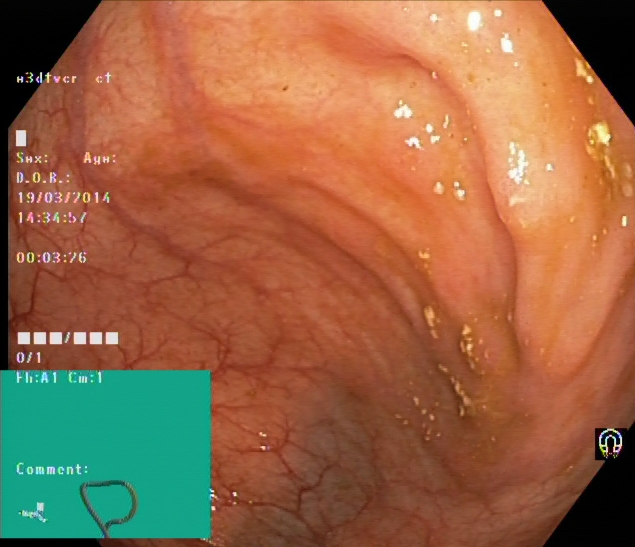Cecum.